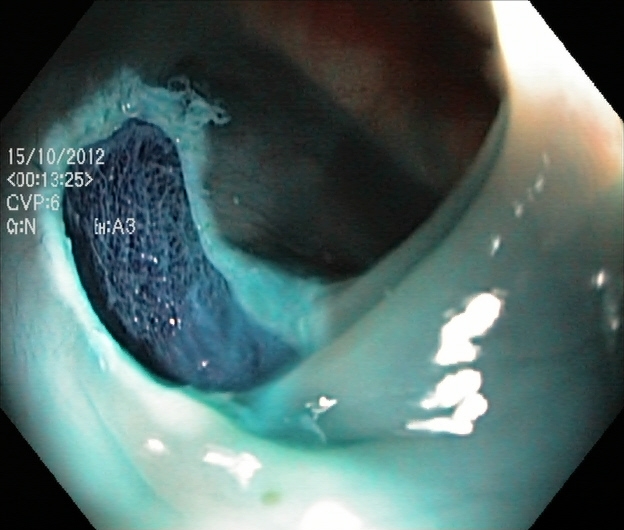Endoscopy image of the lower GI tract showing dyed resection margins (post-polypectomy).